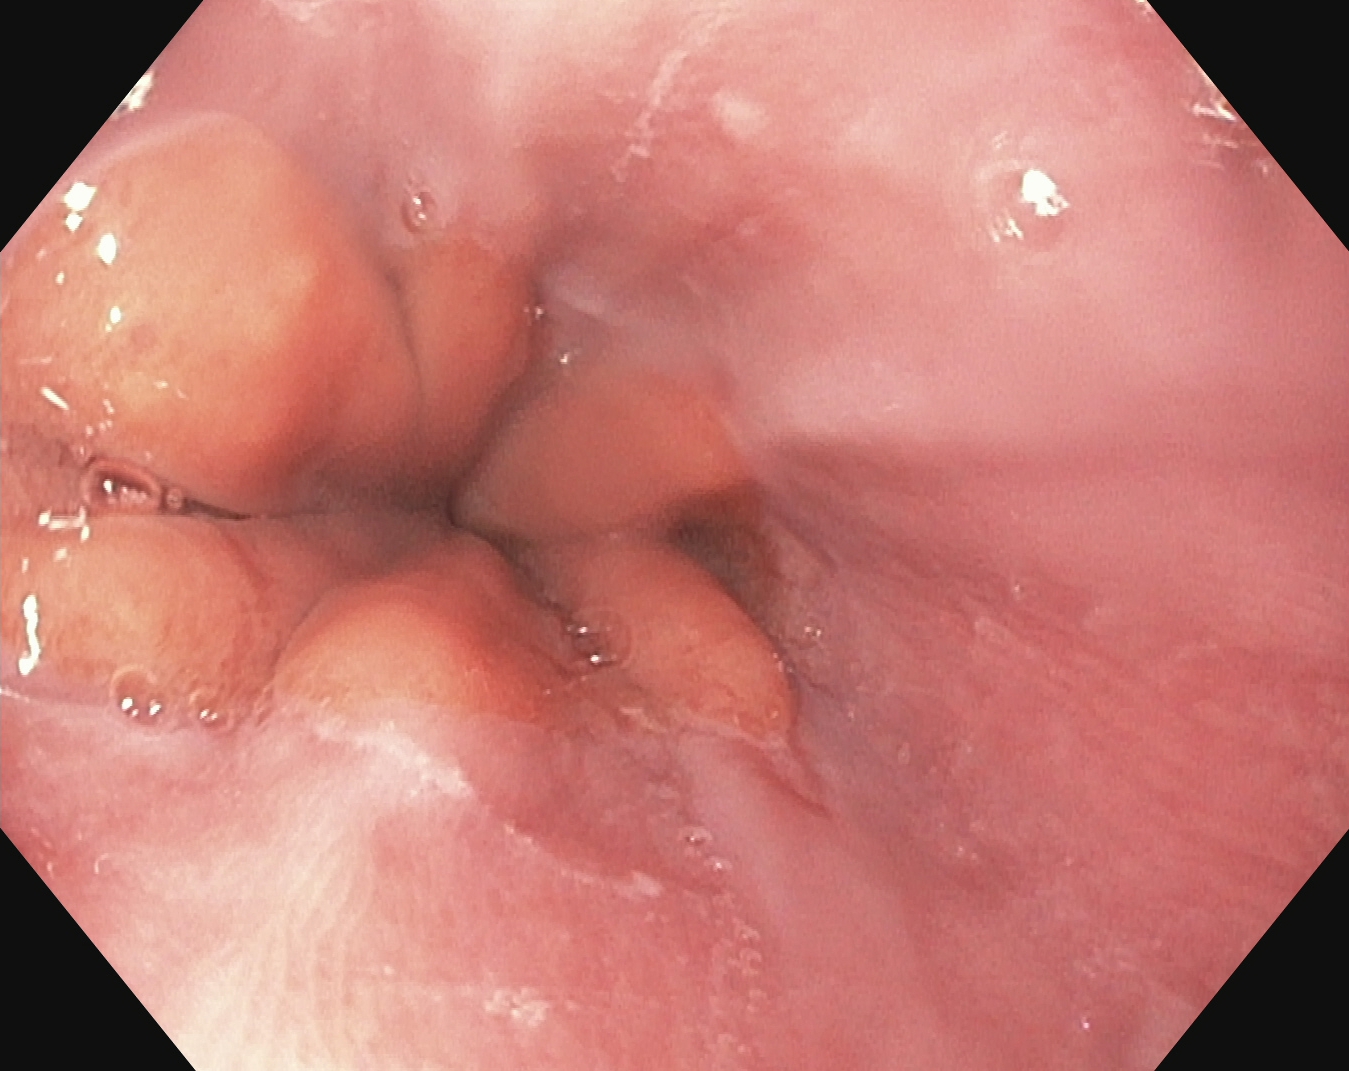Z-line (gastroesophageal junction).